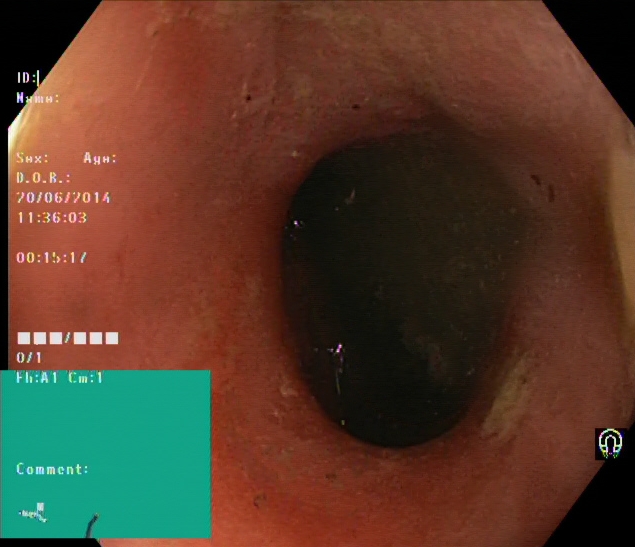modality: colonoscopy
finding: UC, Mayo endoscopic subscore 2